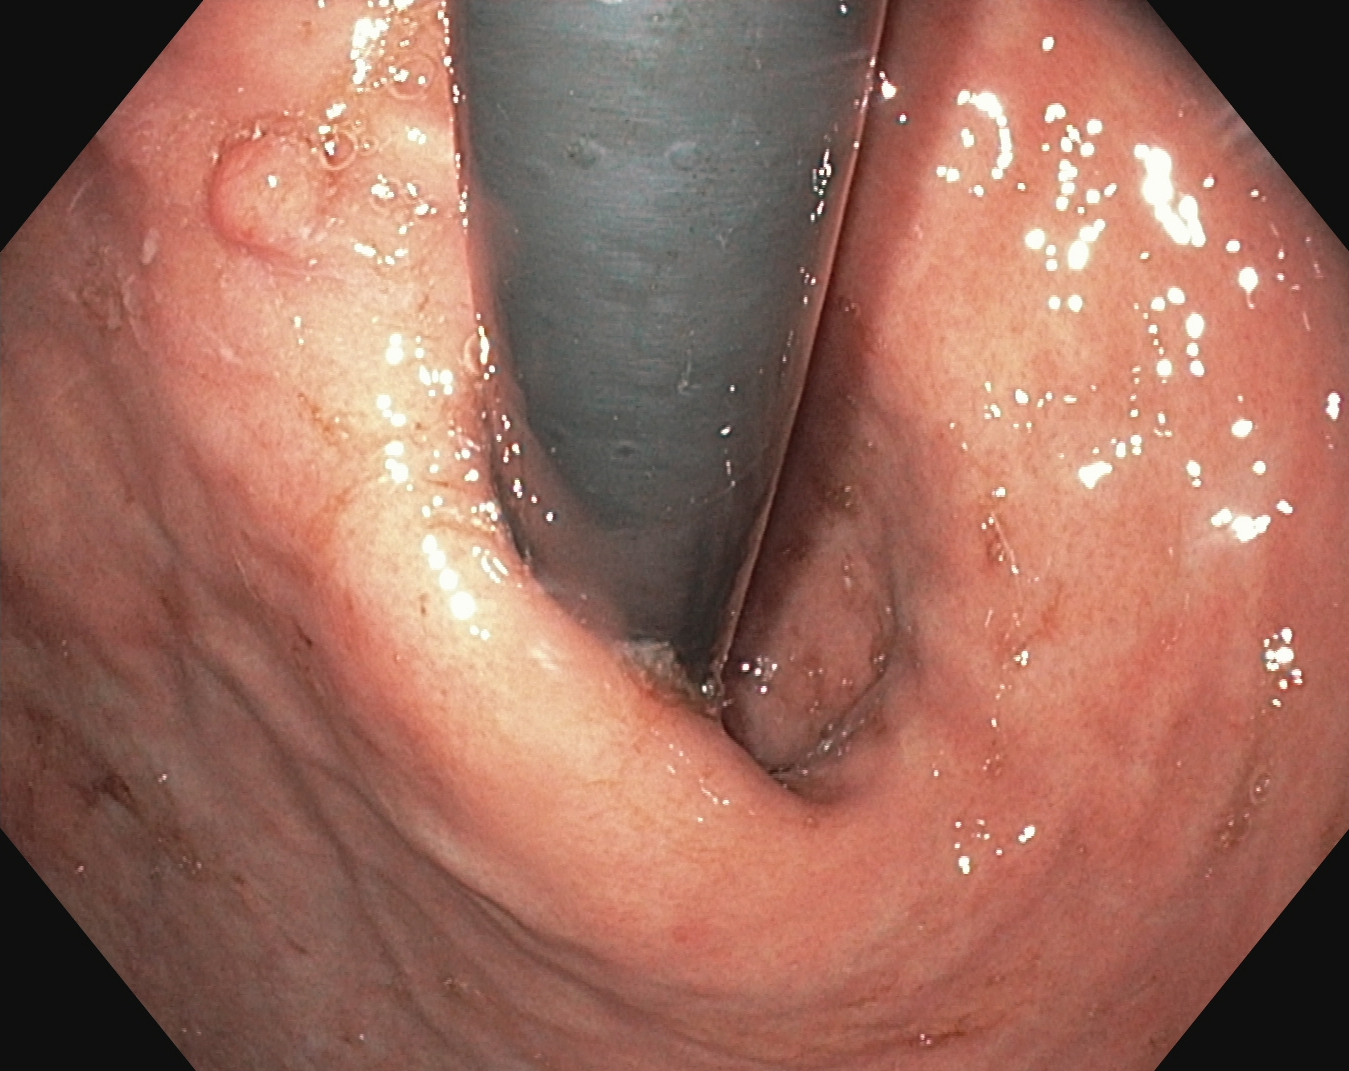GI endoscopy image of the upper GI tract showing stomach in retroflexion.